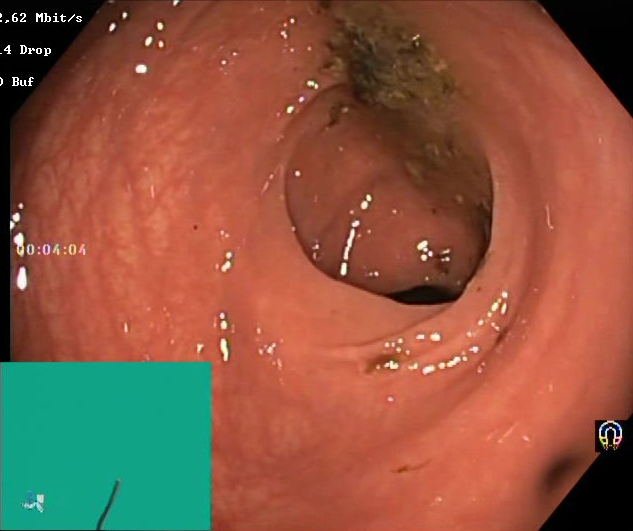Lower-GI endoscopy — Boston Bowel Preparation Scale score 0–1 (inadequate preparation).